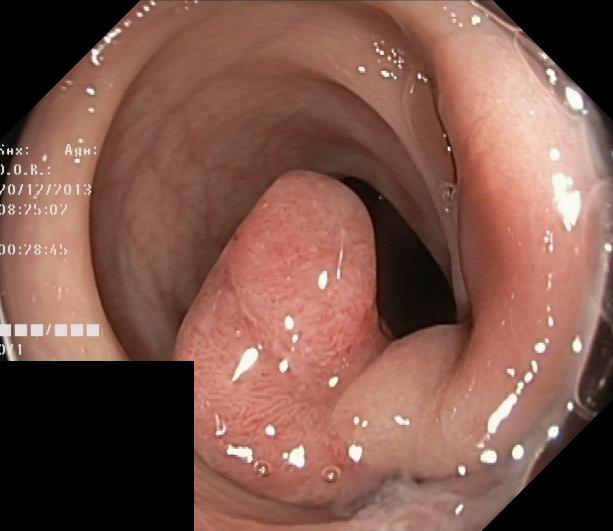PROCEDURE: Lower gastrointestinal endoscopy.
CATEGORY: Pathological finding.
FINDINGS: Colorectal polyp(s).